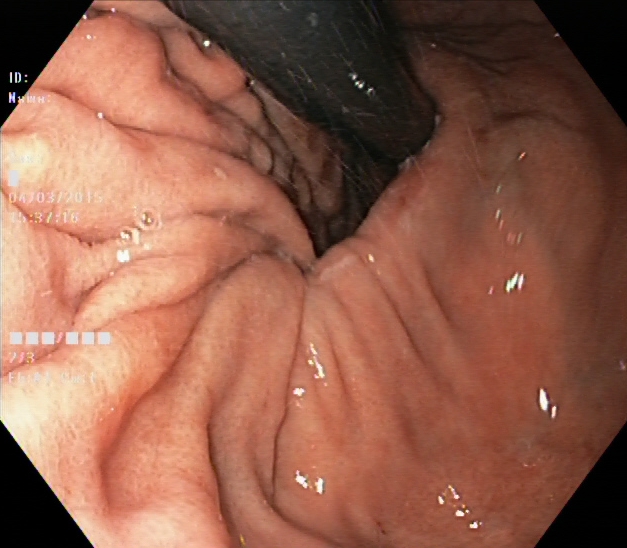stomach in retroflexion.